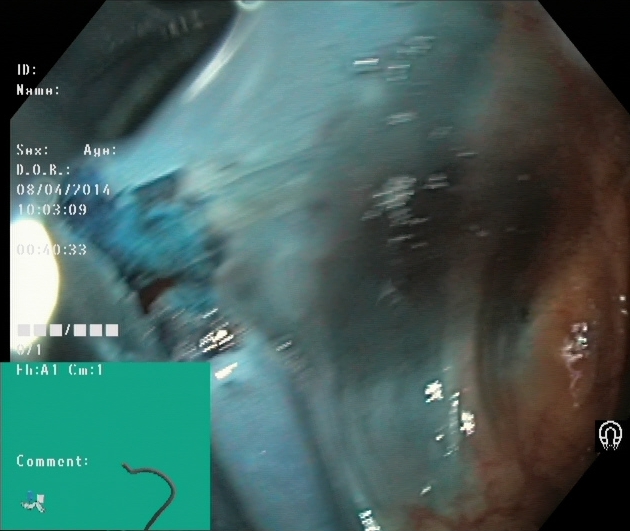Endoscopic frame showing dyed resection margins (post-polypectomy).